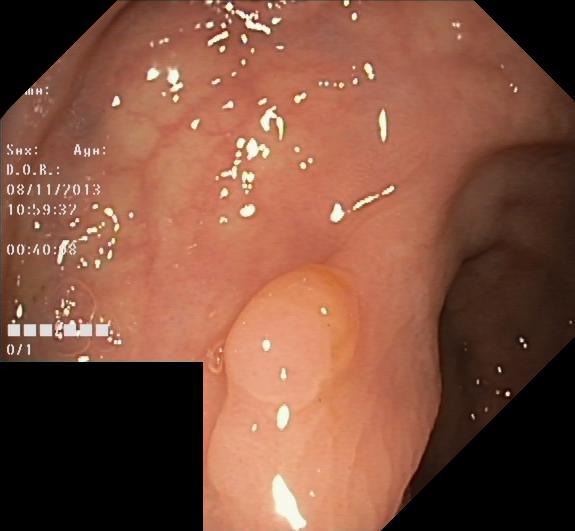{"modality": "lower-GI endoscopy", "finding": "colorectal polyp(s)"}